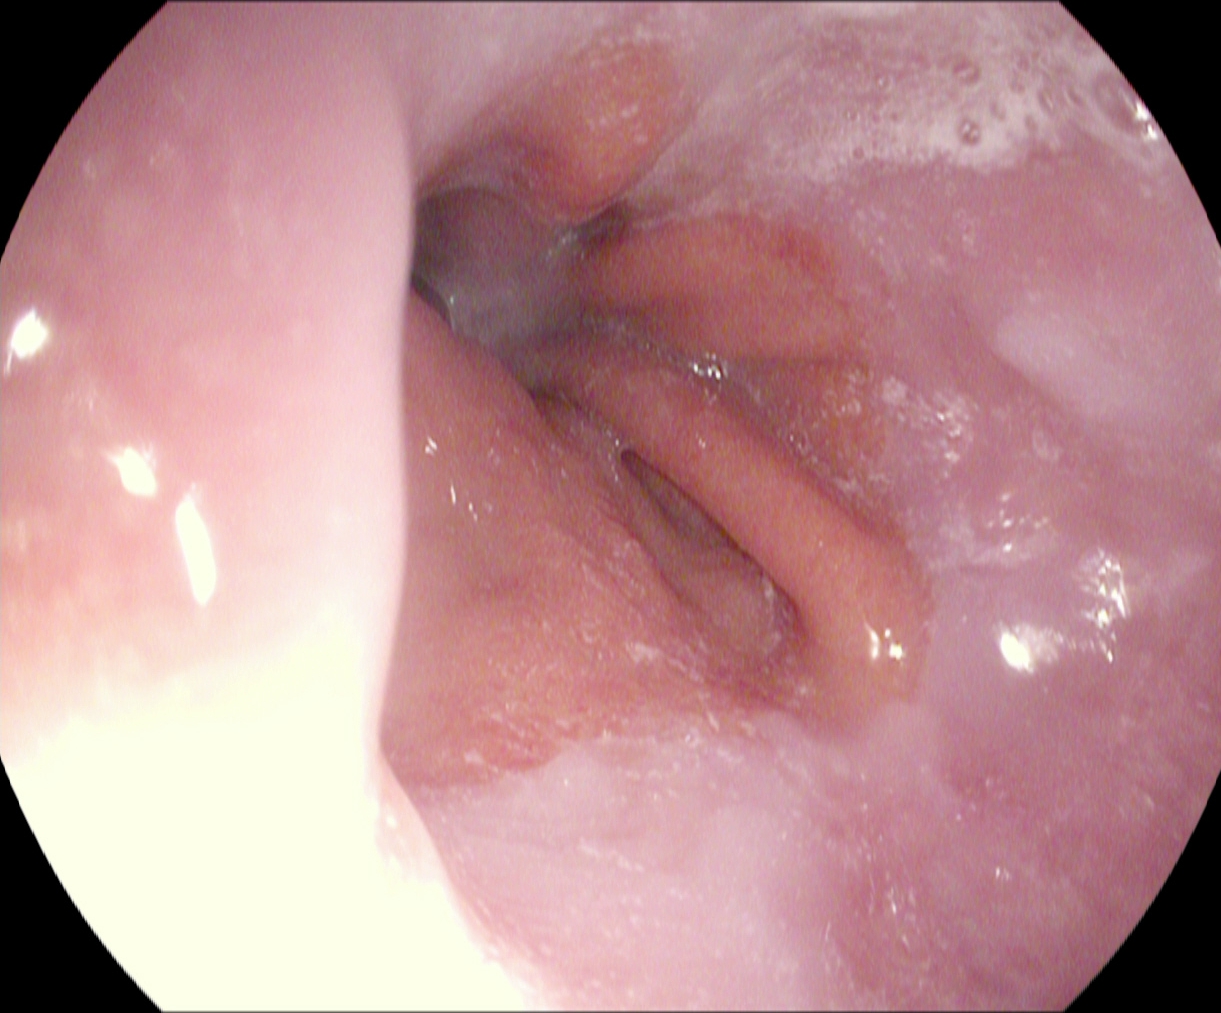EGD. Tract: upper GI tract. Finding: Z-line (gastroesophageal junction).